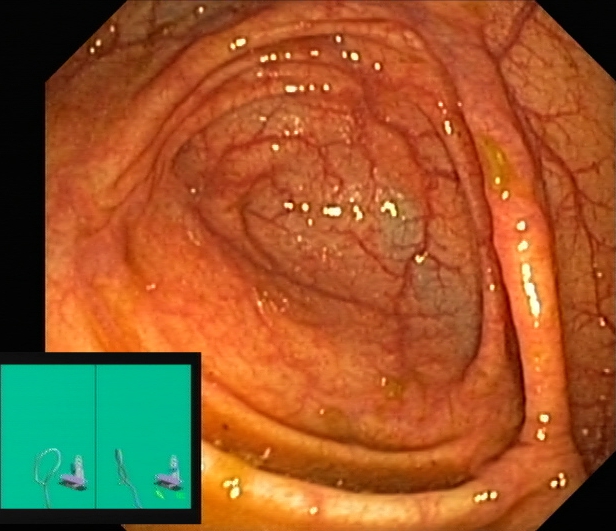modality: lower gastrointestinal endoscopy; tract: lower GI tract; finding: cecum